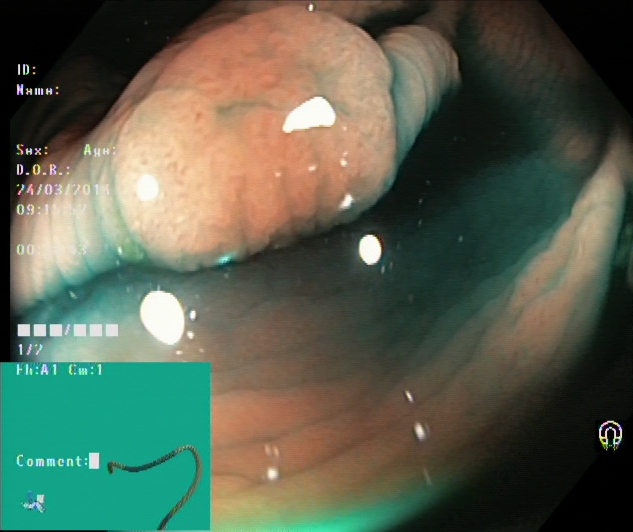This endoscopic image of the lower GI tract shows dyed and lifted polyp (pre-resection).